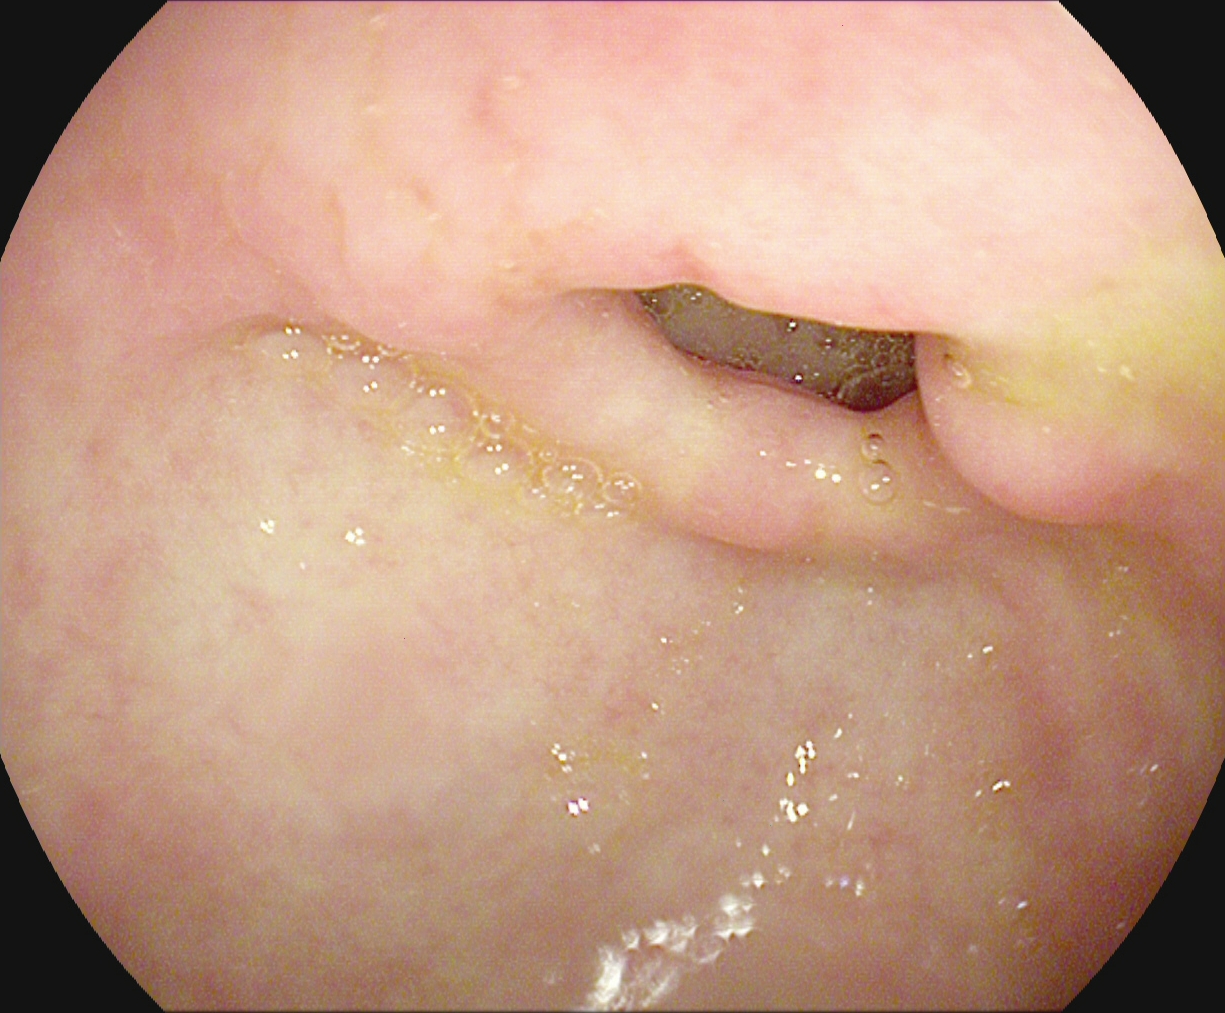EGD. Finding: pylorus.